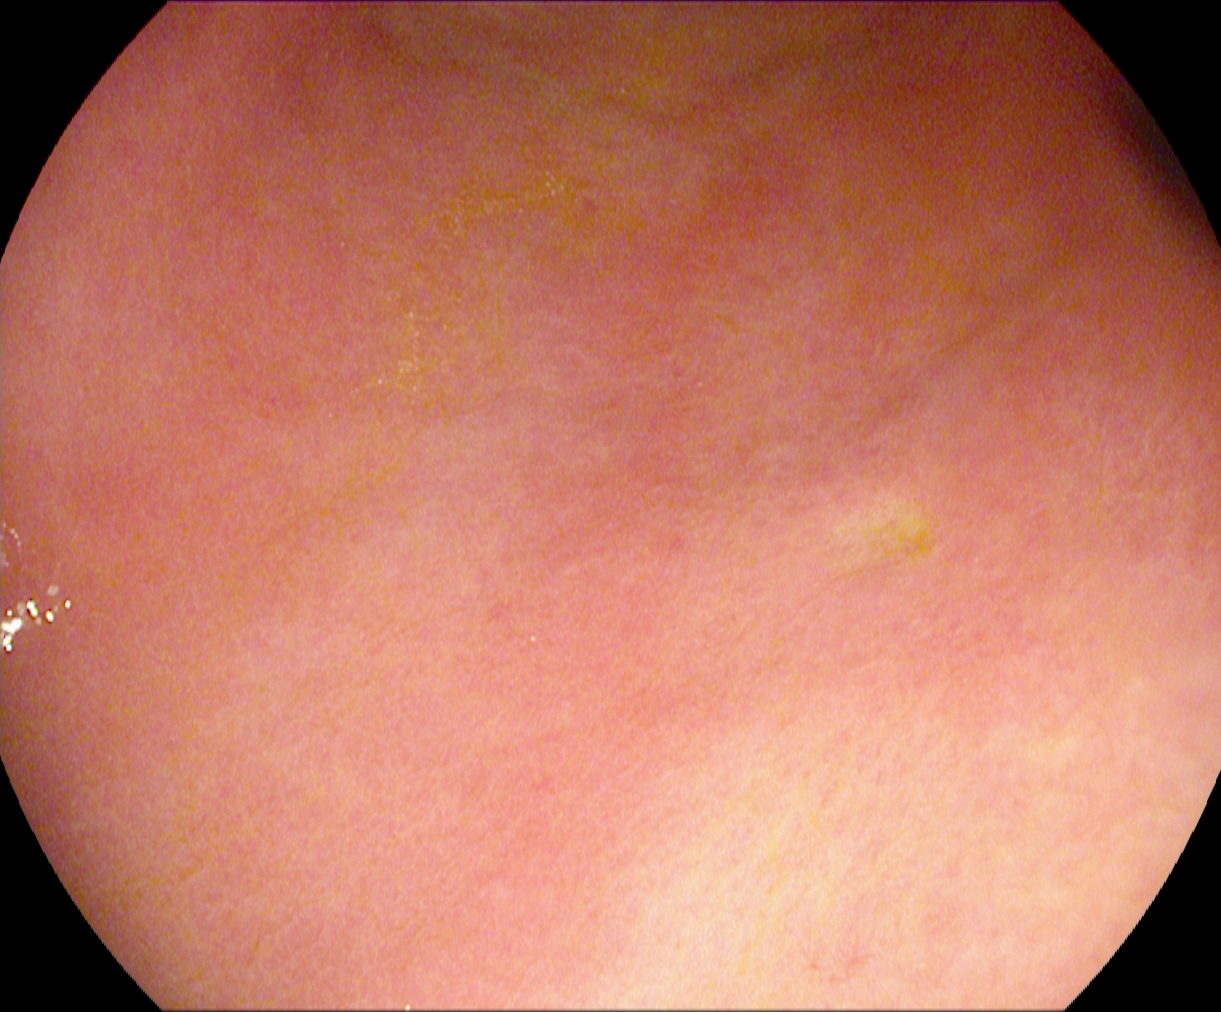This endoscopy frame of the upper GI tract shows pylorus.